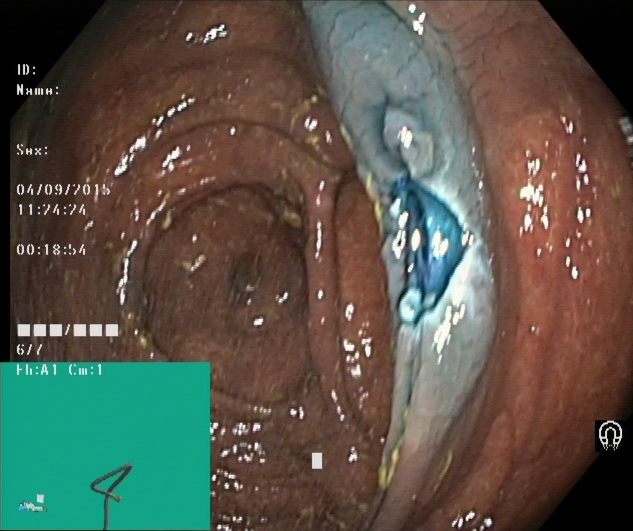{"modality": "colonoscopy", "tract": "lower GI tract", "category": "therapeutic intervention", "finding": "dyed resection margins (post-polypectomy)"}